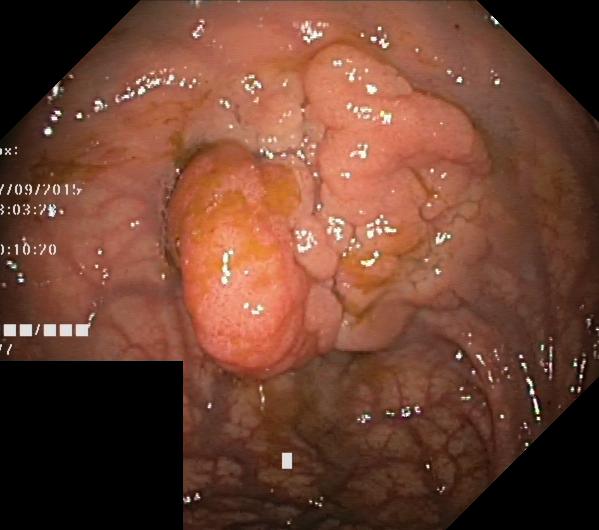Lower-GI endoscopy. Tract: lower GI tract. Pathological finding. Finding: colorectal polyp(s).